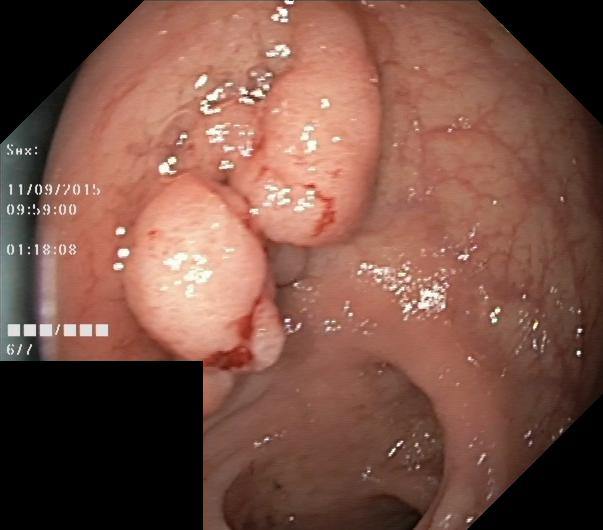This endoscopy frame shows colorectal polyp(s).